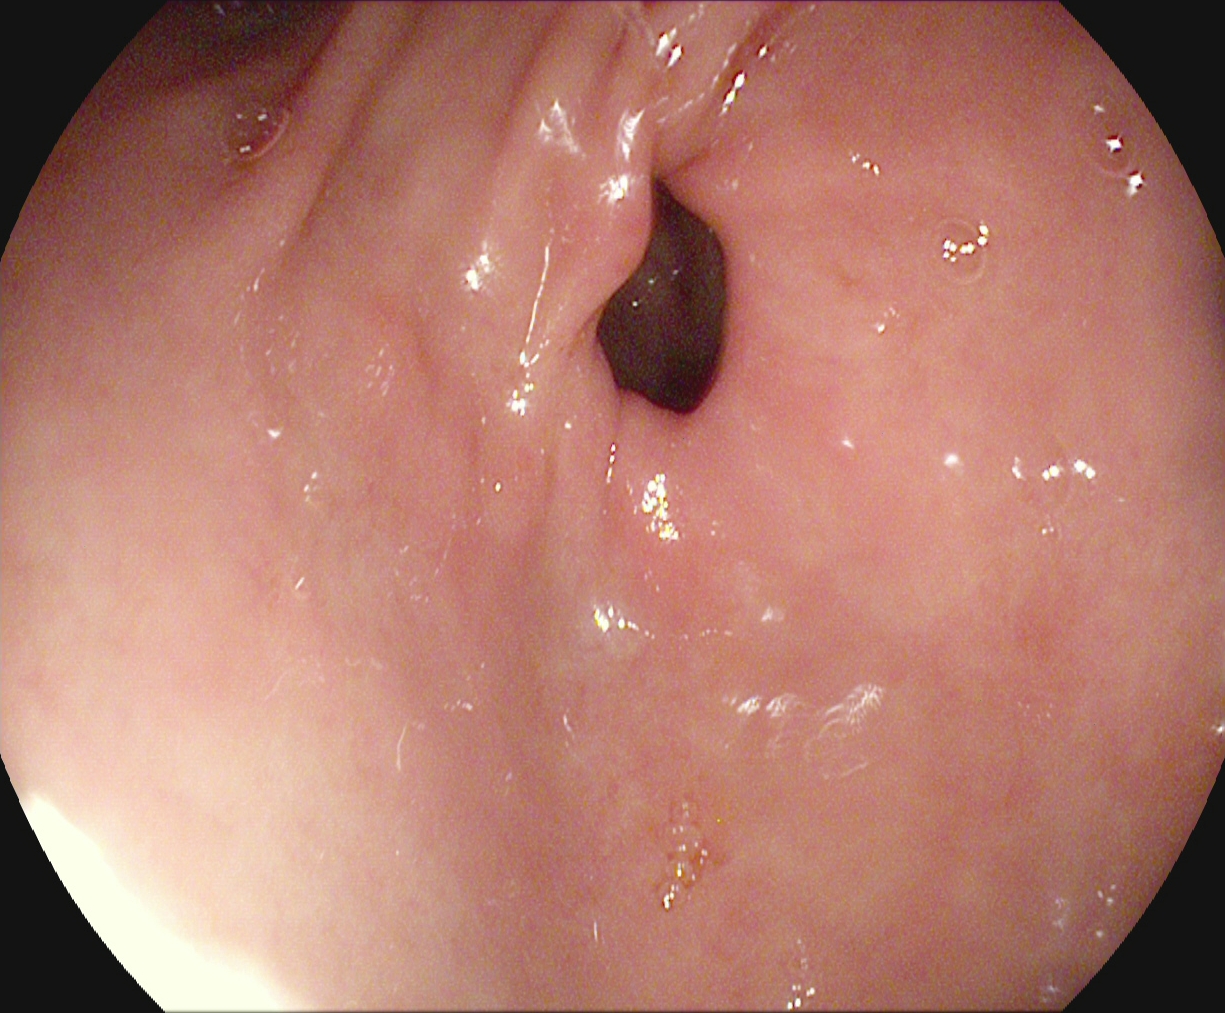This endoscopic image of the upper GI tract shows pylorus.